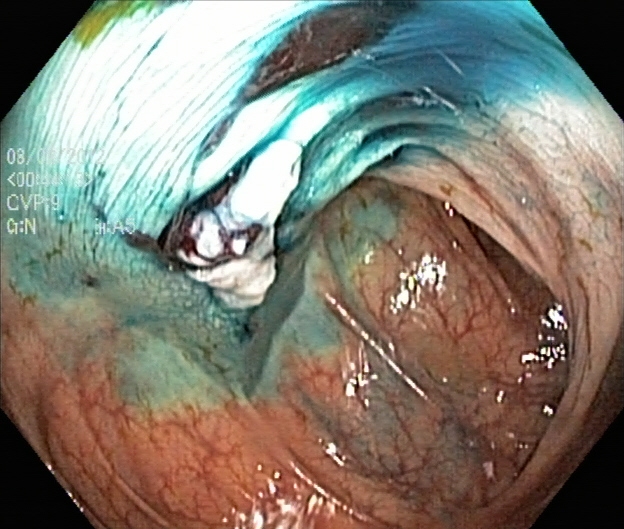PROCEDURE: Colonoscopy.
CATEGORY: Therapeutic intervention.
FINDINGS: Dyed resection margins (post-polypectomy).